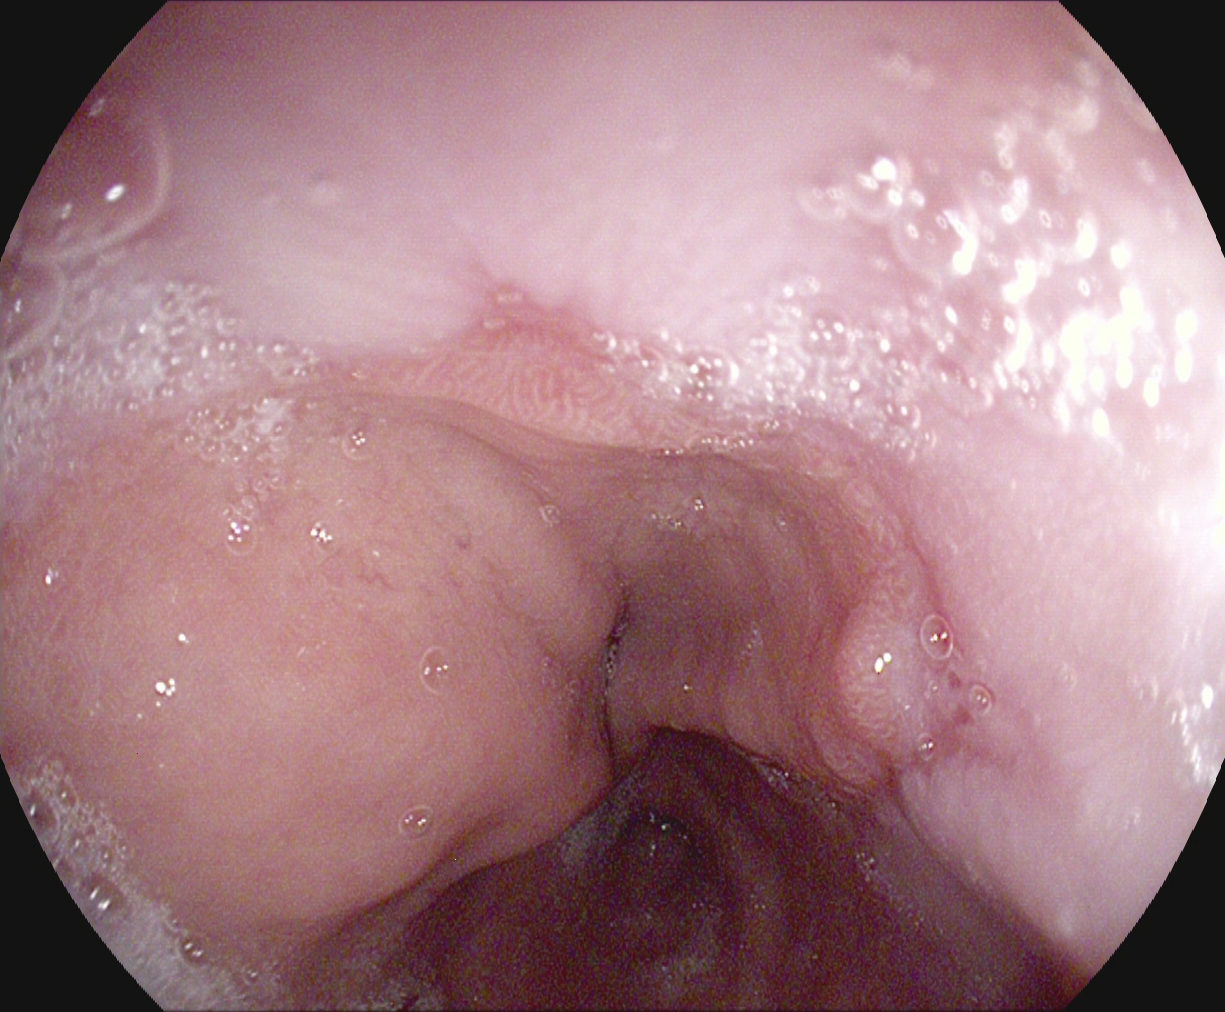Reflux esophagitis, Los Angeles grade A.